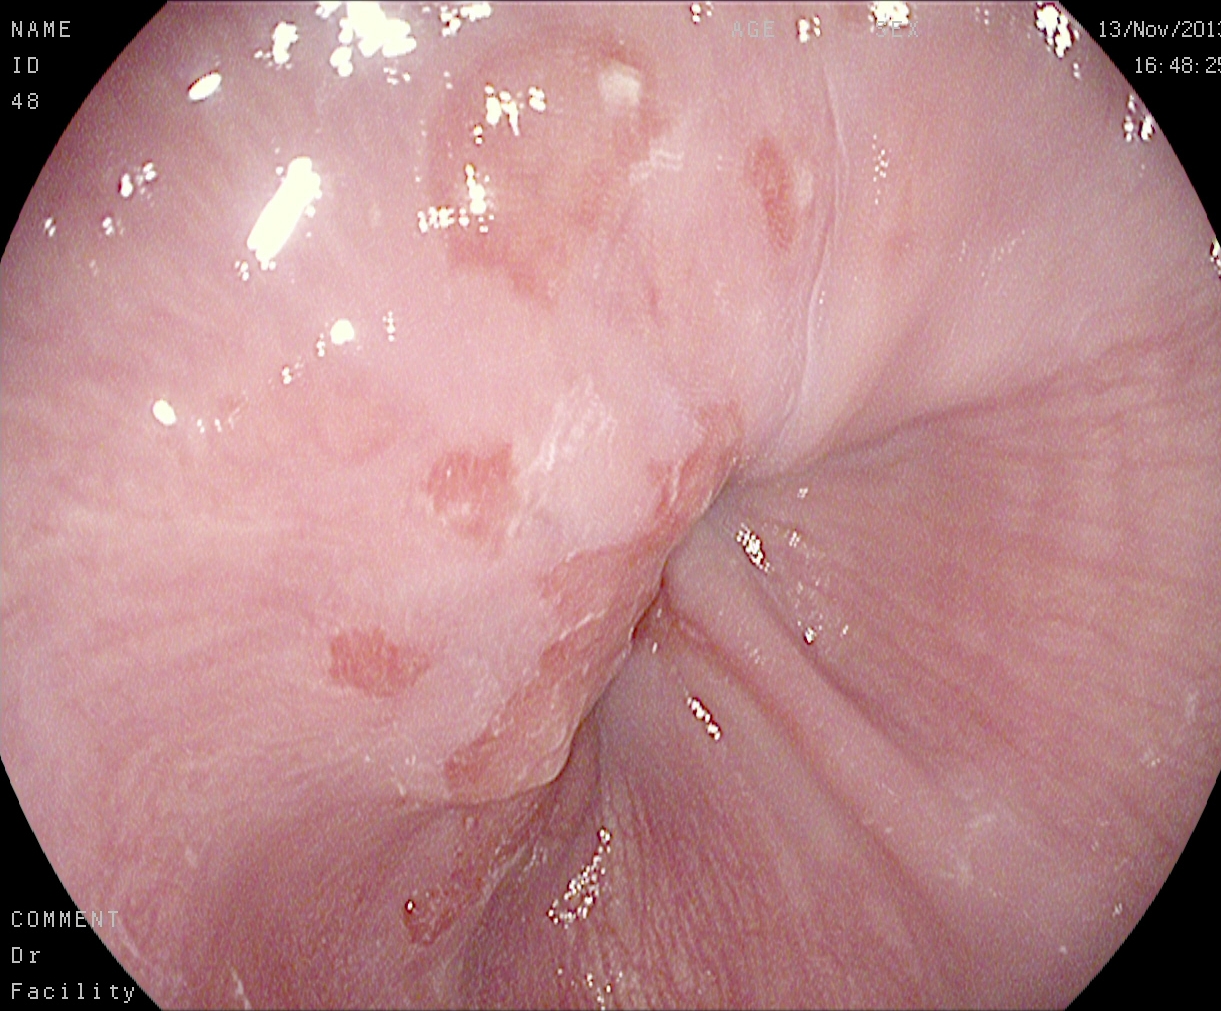This endoscopy frame of the upper GI tract shows Z-line (gastroesophageal junction).